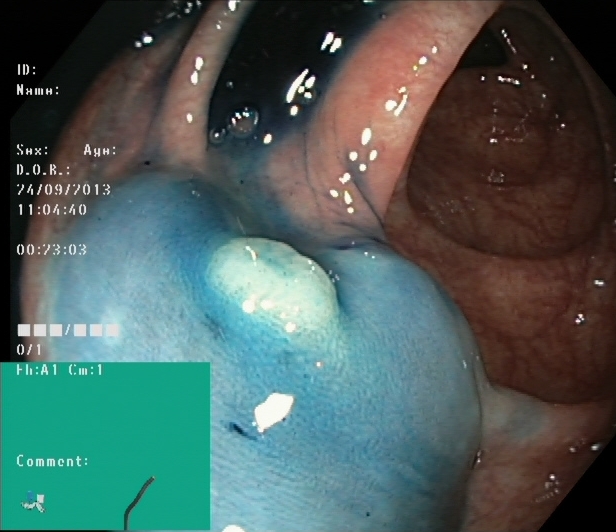This endoscopic image of the lower GI tract shows dyed and lifted polyp (pre-resection).